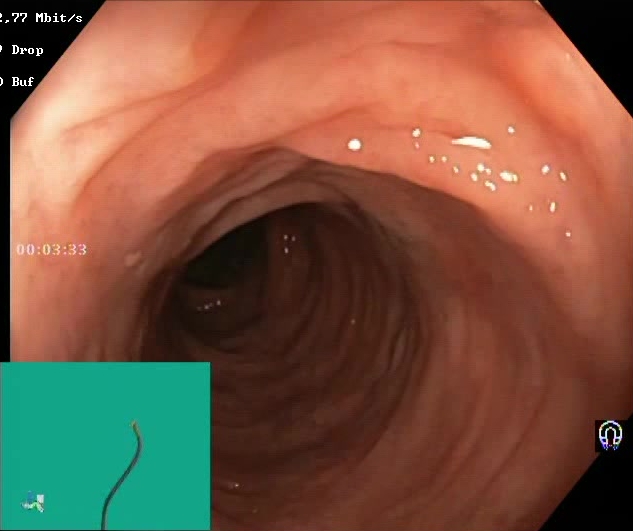Colonoscopy. Finding: BBPS score 2–3 (adequate preparation).